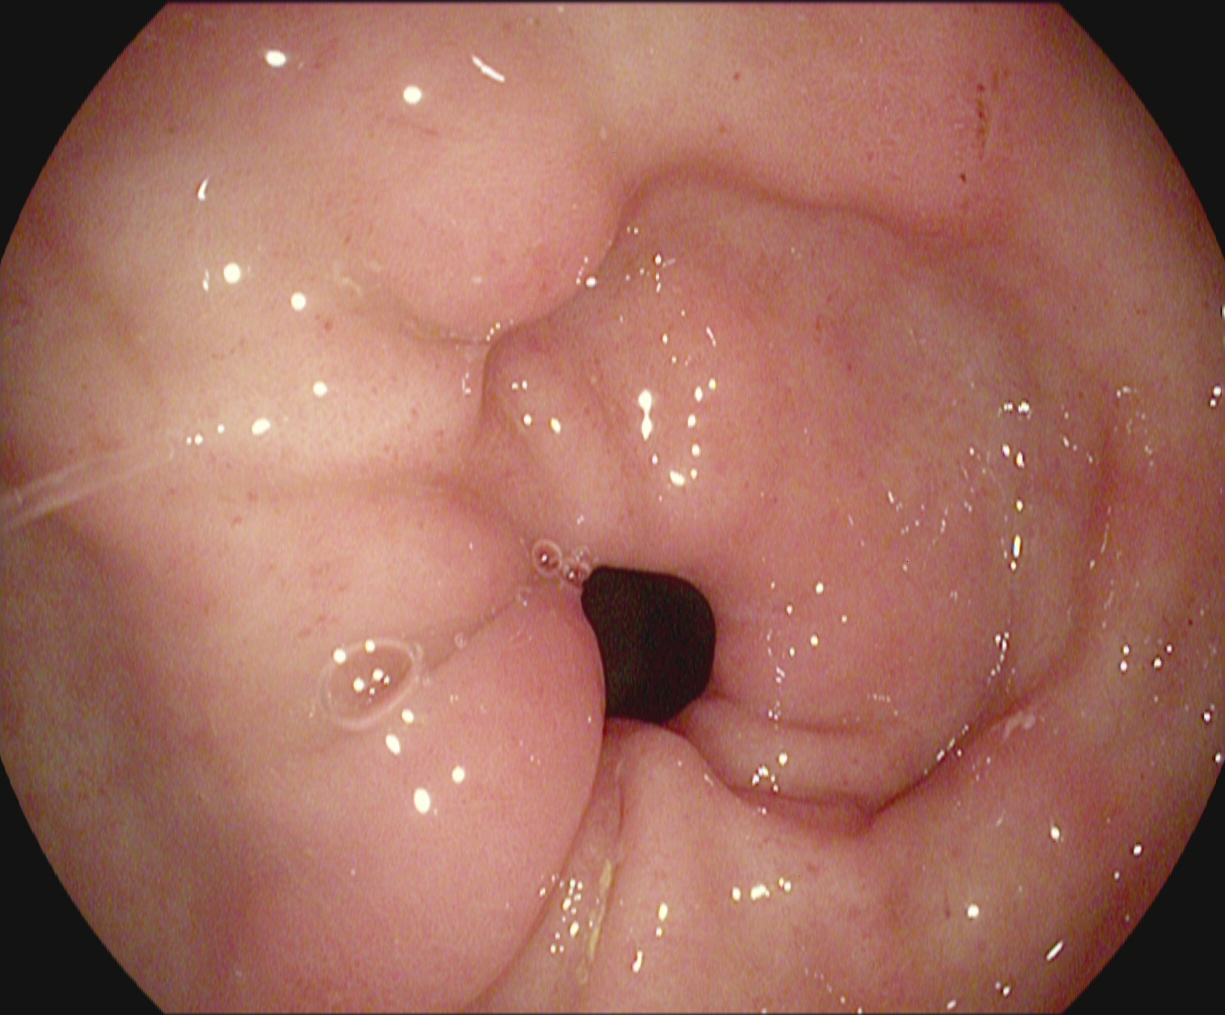Pylorus.